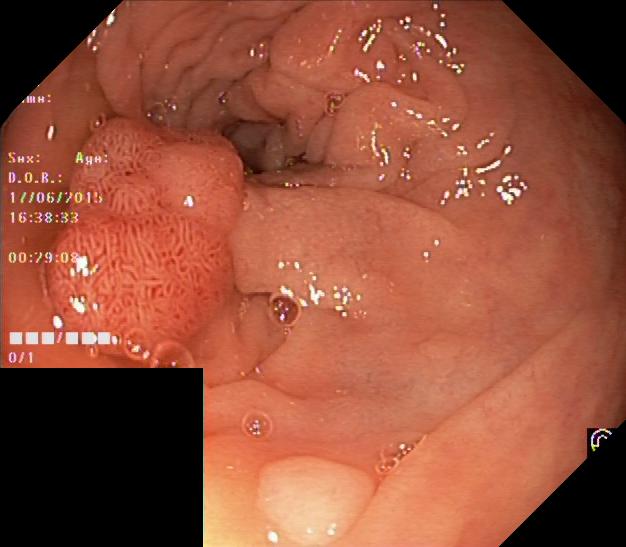Colonoscopy. Finding: colorectal polyp(s).